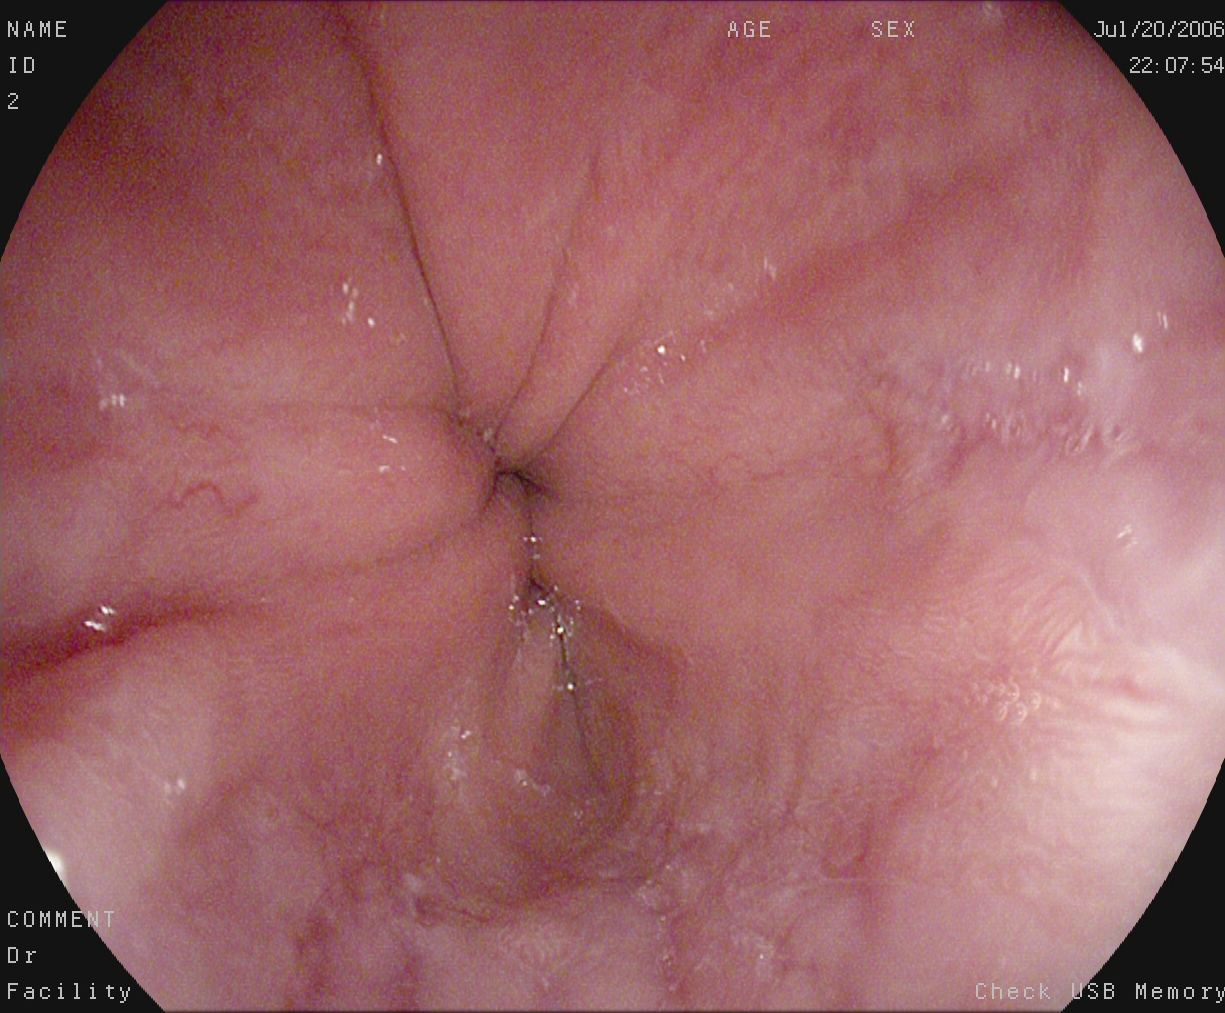modality: gastroscopy | tract: upper GI tract | finding: reflux esophagitis, LA grade A